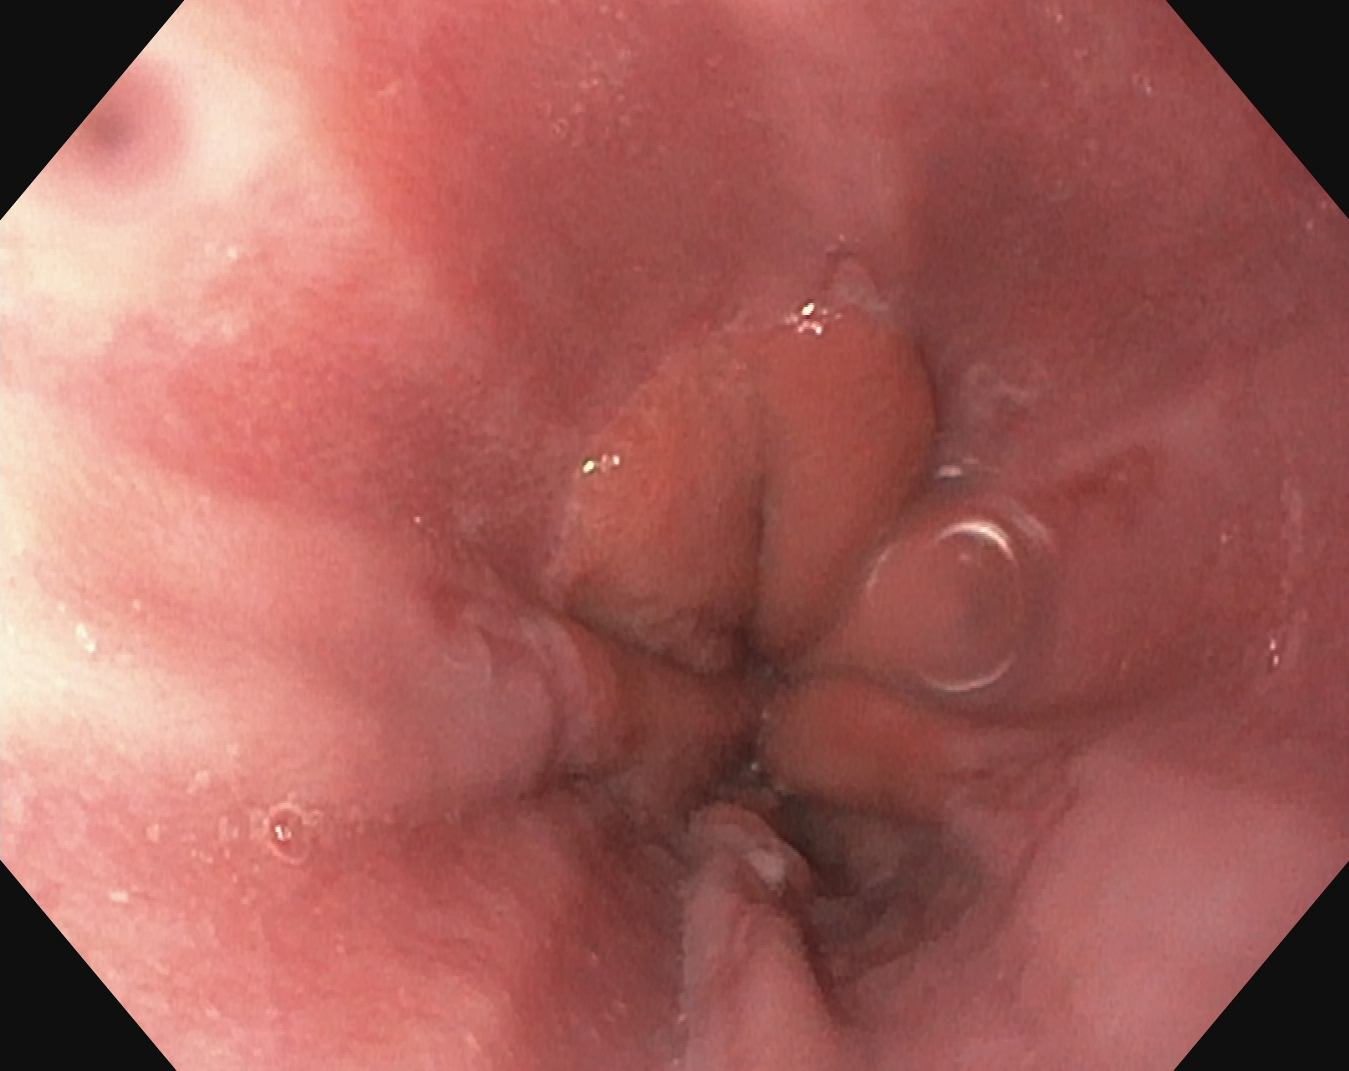EGD. Tract: upper GI tract. Pathological finding. Finding: reflux esophagitis, LA grade A.